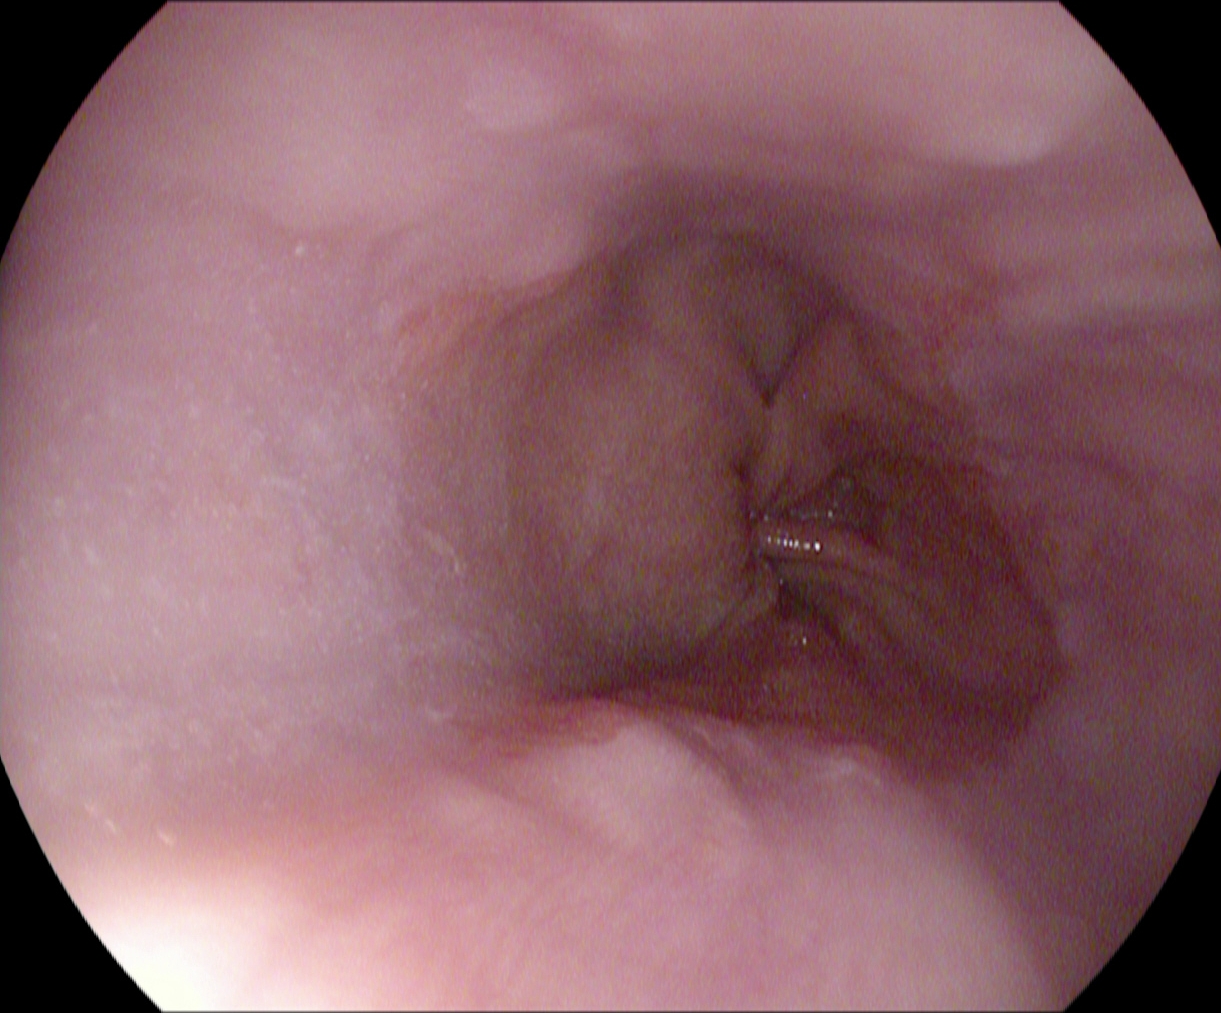Reflux esophagitis, LA grade A.